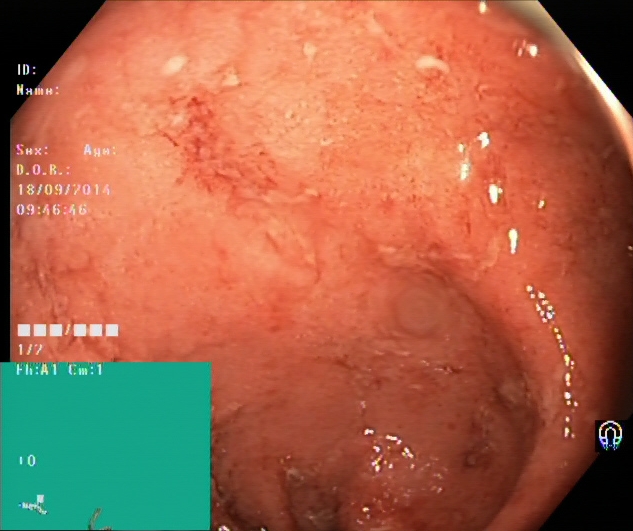{"modality": "lower-GI endoscopy", "tract": "lower GI tract", "finding": "ulcerative colitis, Mayo endoscopic subscore 2"}